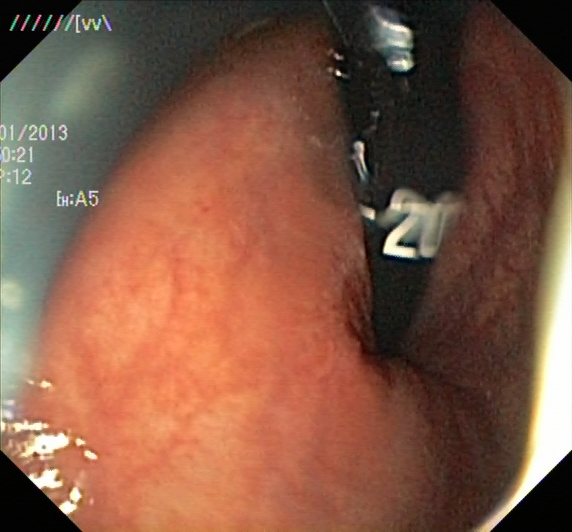Colonoscopy. Anatomical landmark. Finding: rectum in retroflexion.